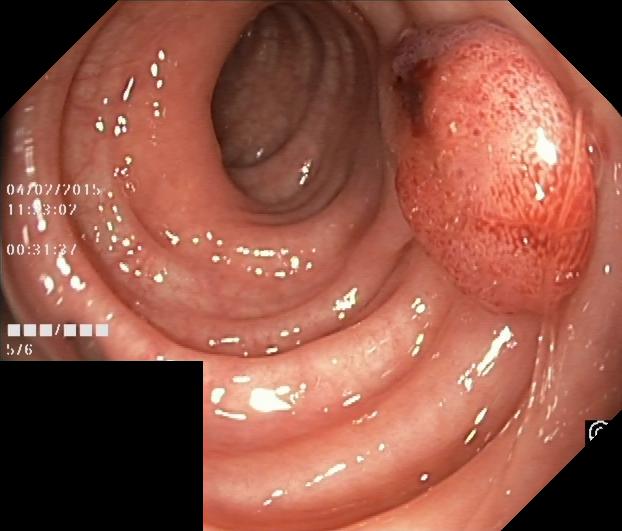Colorectal polyp(s).